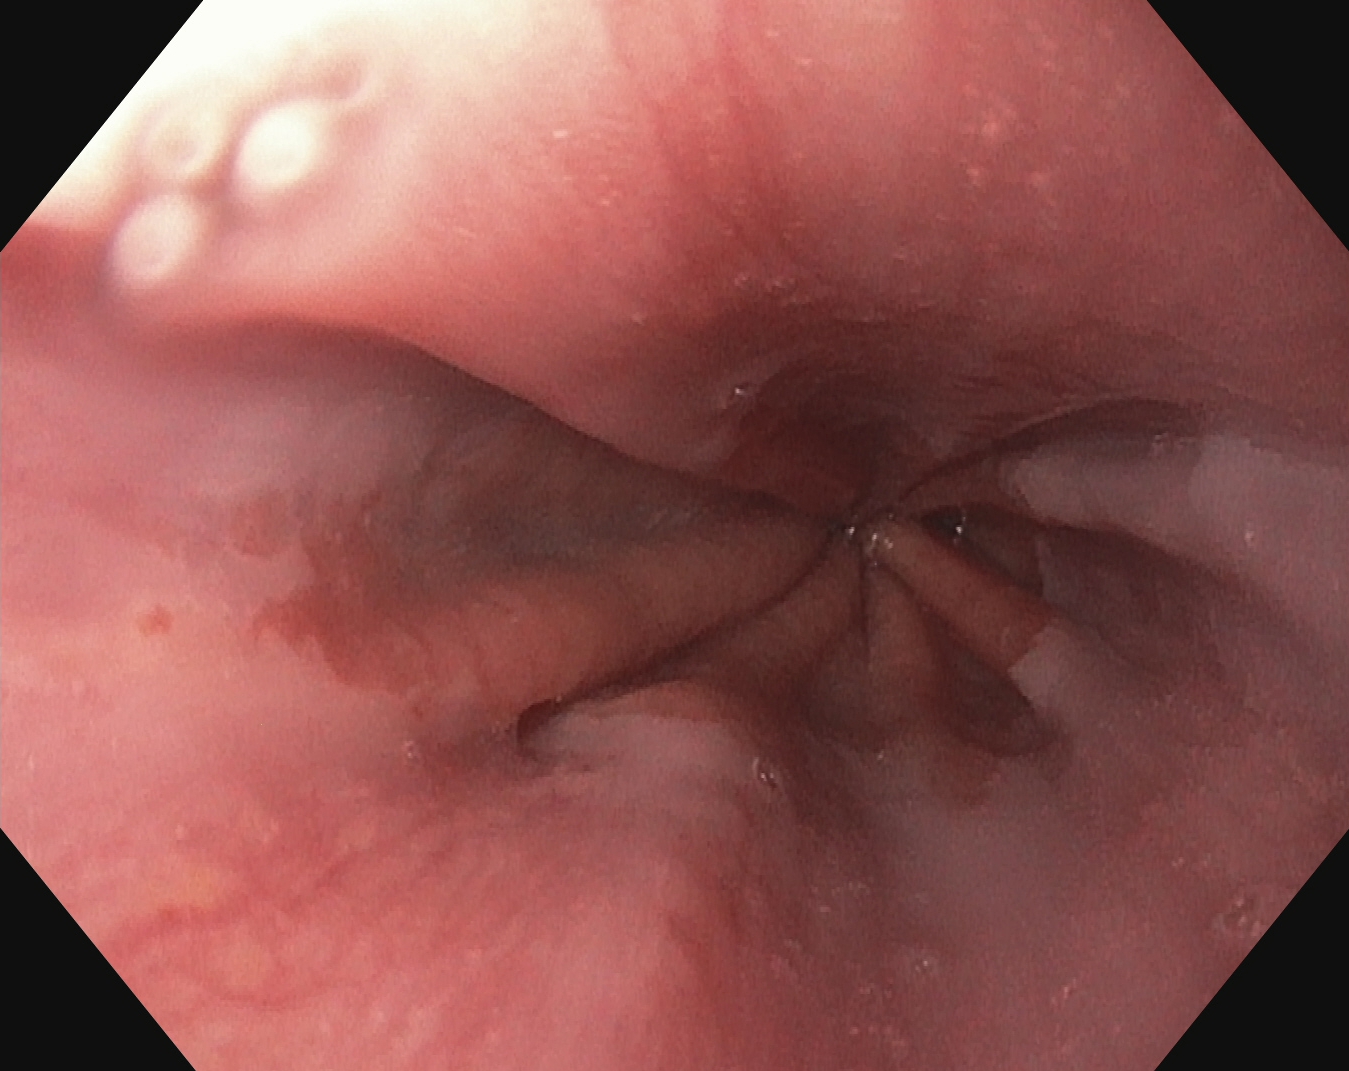Esophagogastroduodenoscopy. Anatomical landmark. Finding: Z-line (gastroesophageal junction).